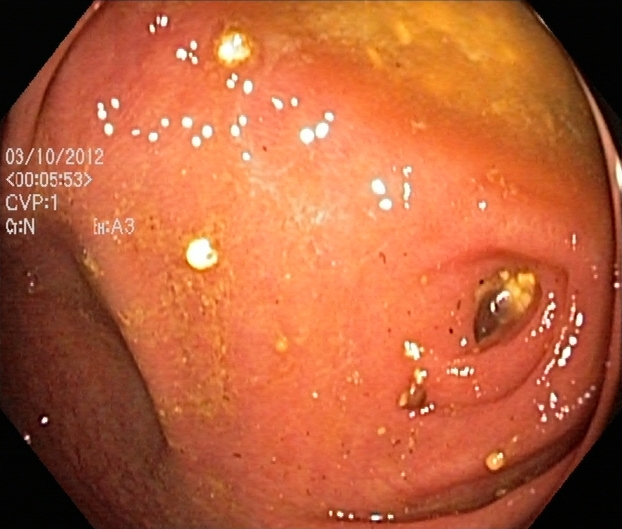Colonoscopy — ulcerative colitis, Mayo endoscopic subscore 2.